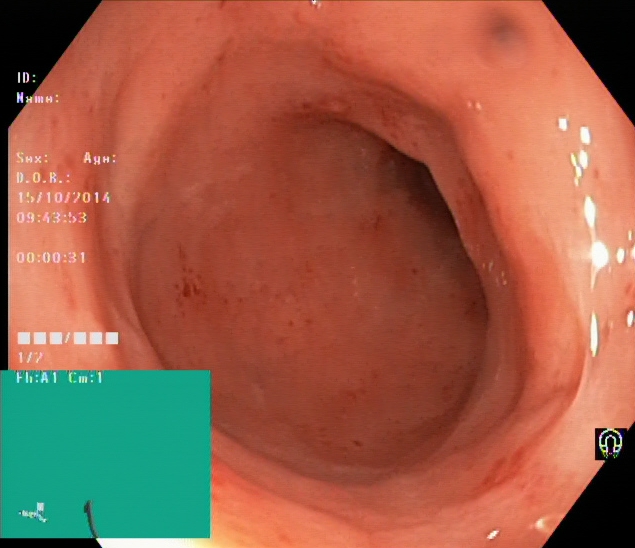modality: lower gastrointestinal endoscopy | category: pathological finding | finding: ulcerative colitis, Mayo endoscopic subscore 2